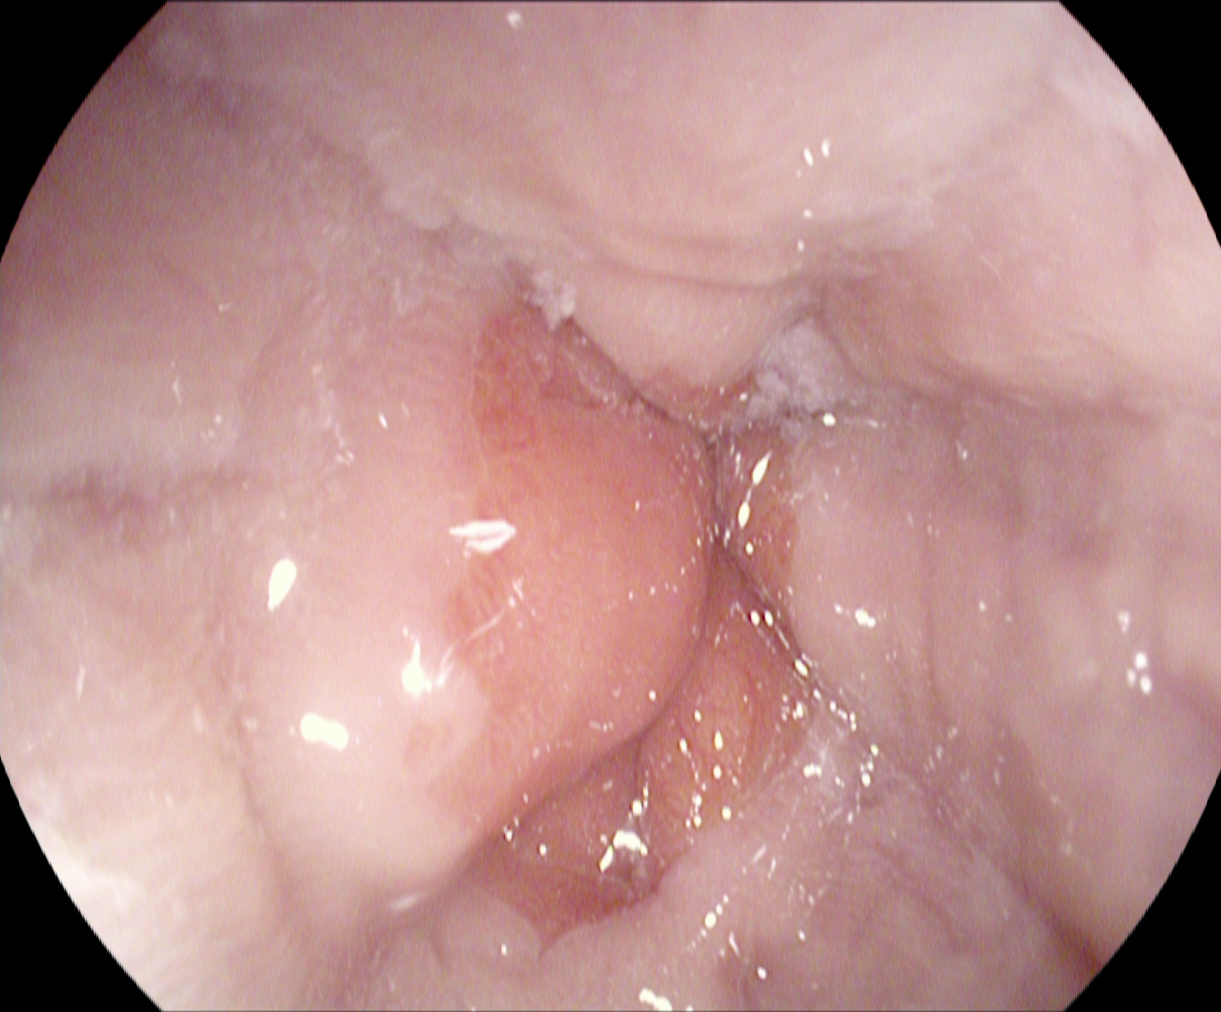Gastroscopy — Z-line (gastroesophageal junction).